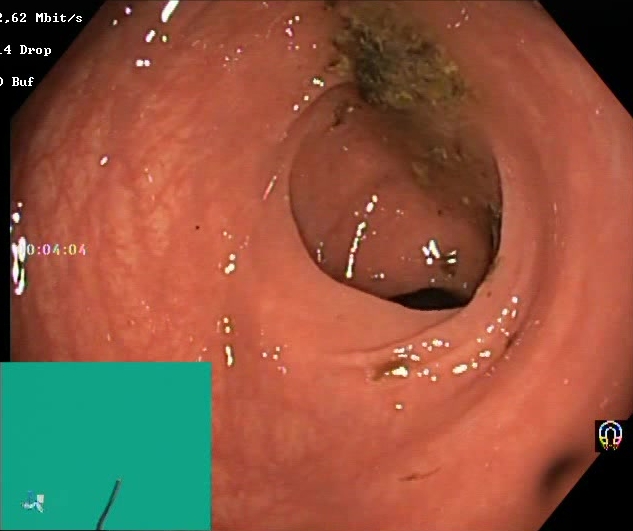Endoscopy image of the lower GI tract showing BBPS score 0–1 (inadequate preparation).